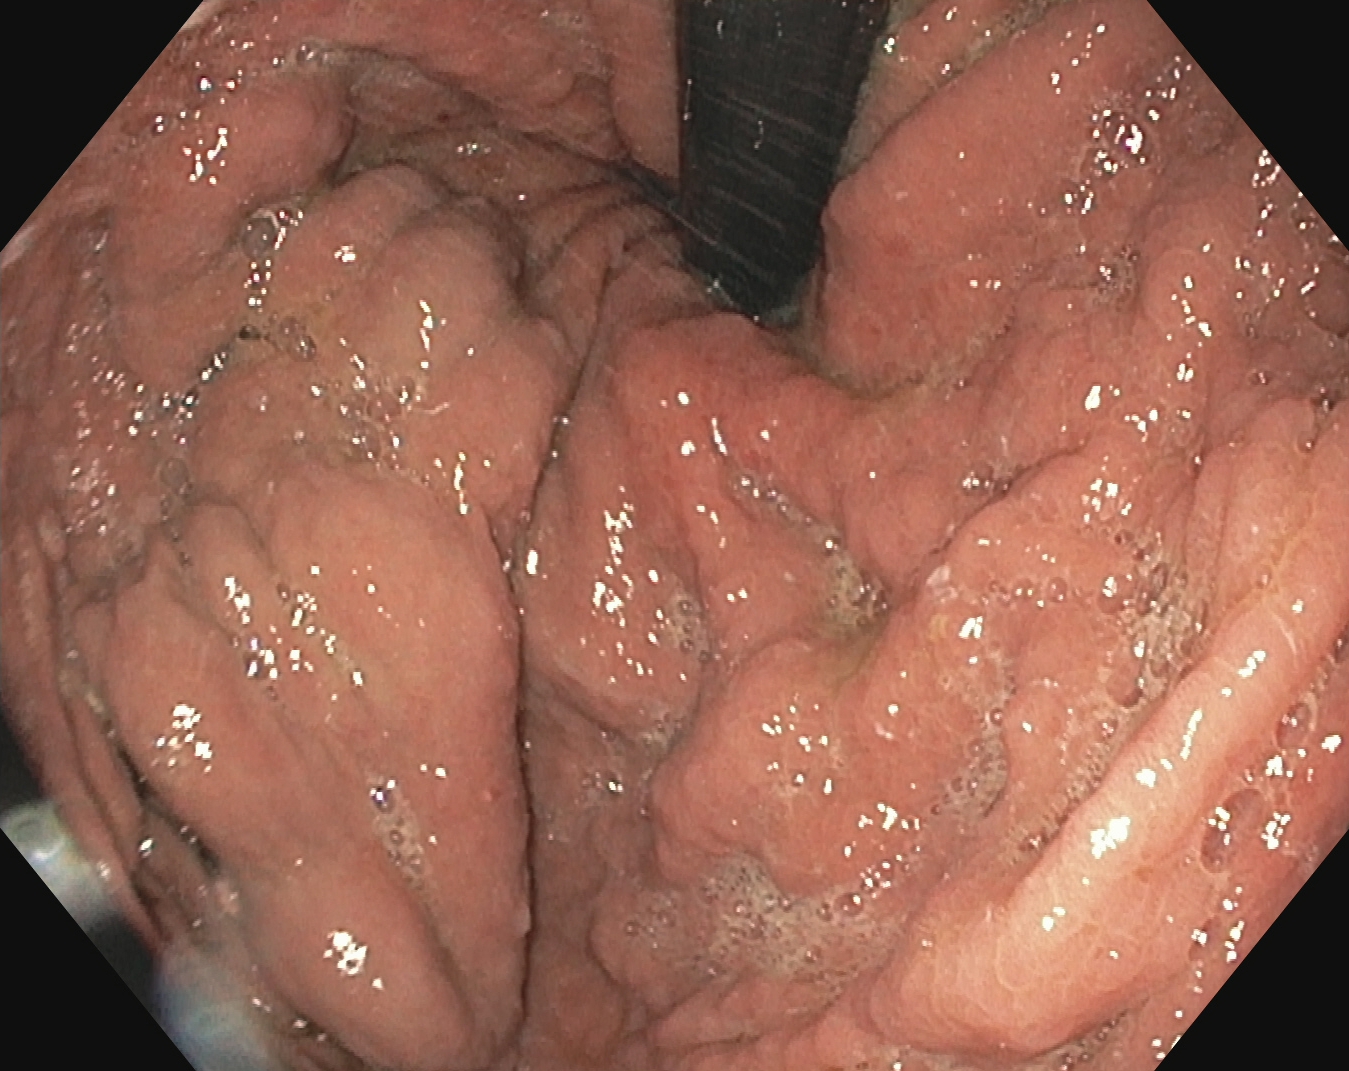Stomach in retroflexion.